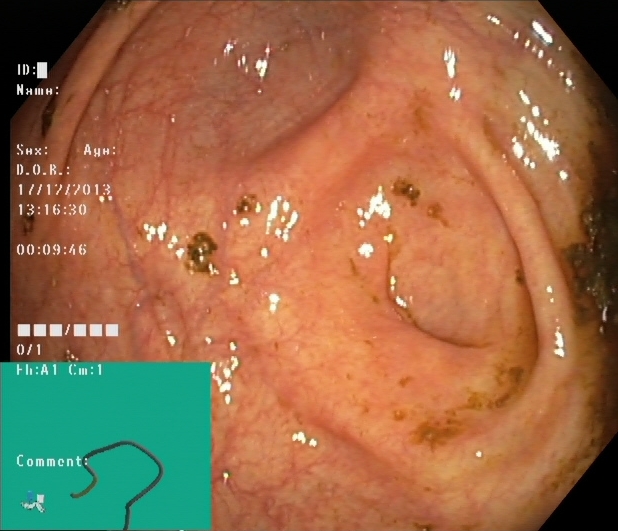cecum.